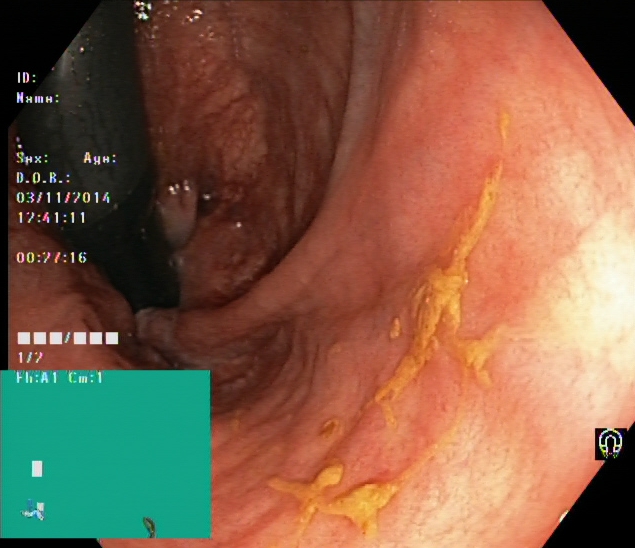This endoscopic image of the lower GI tract shows rectum in retroflexion.